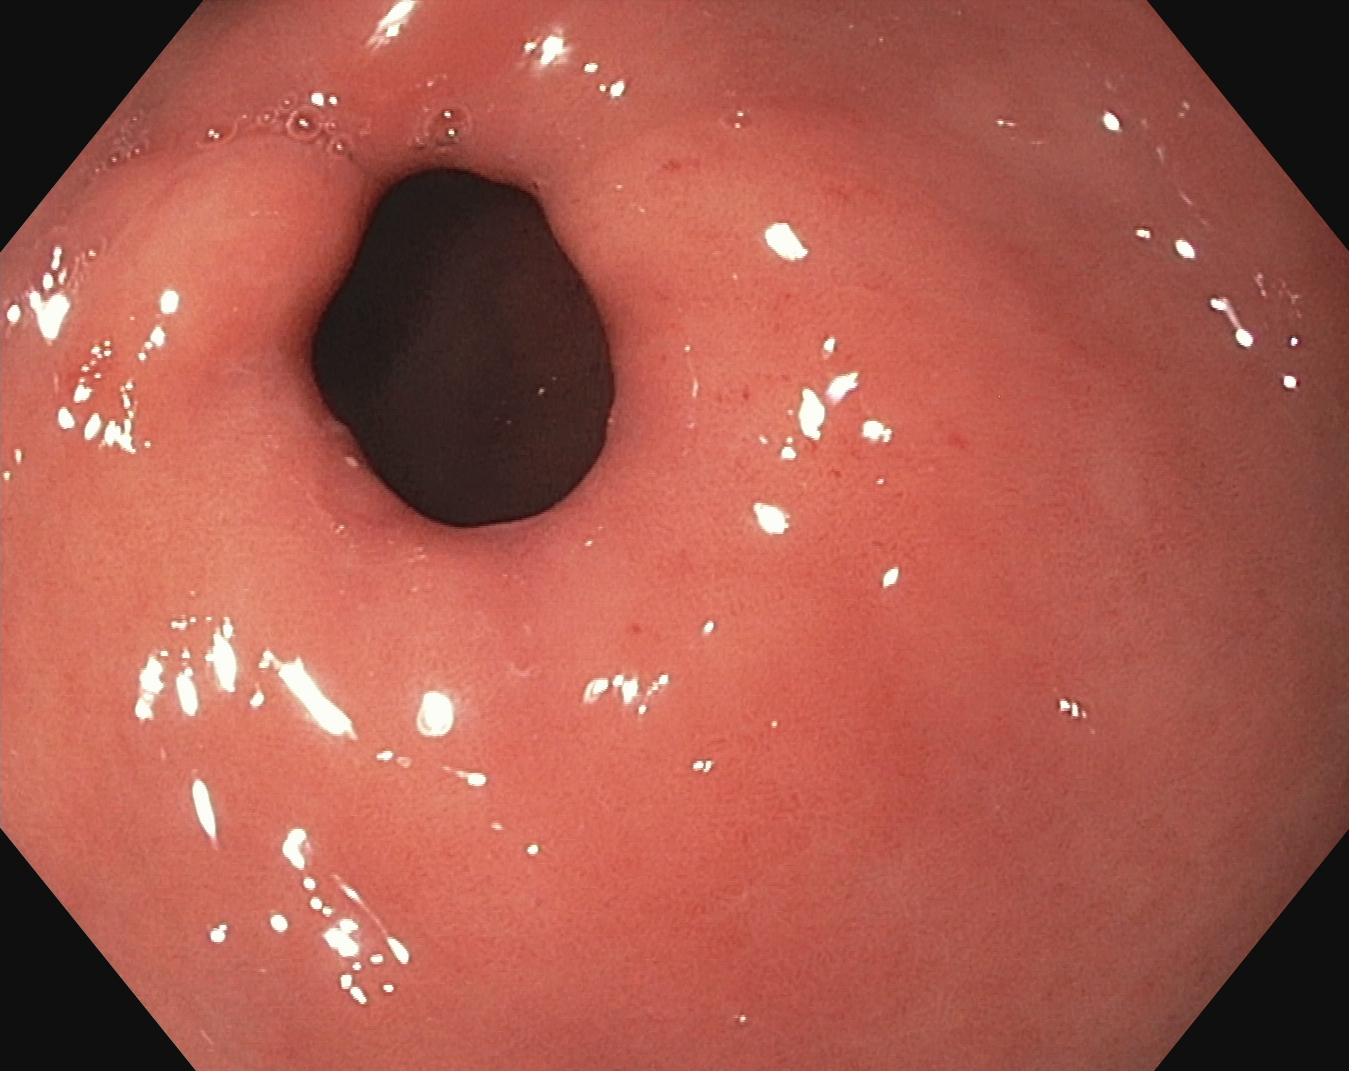Pylorus.